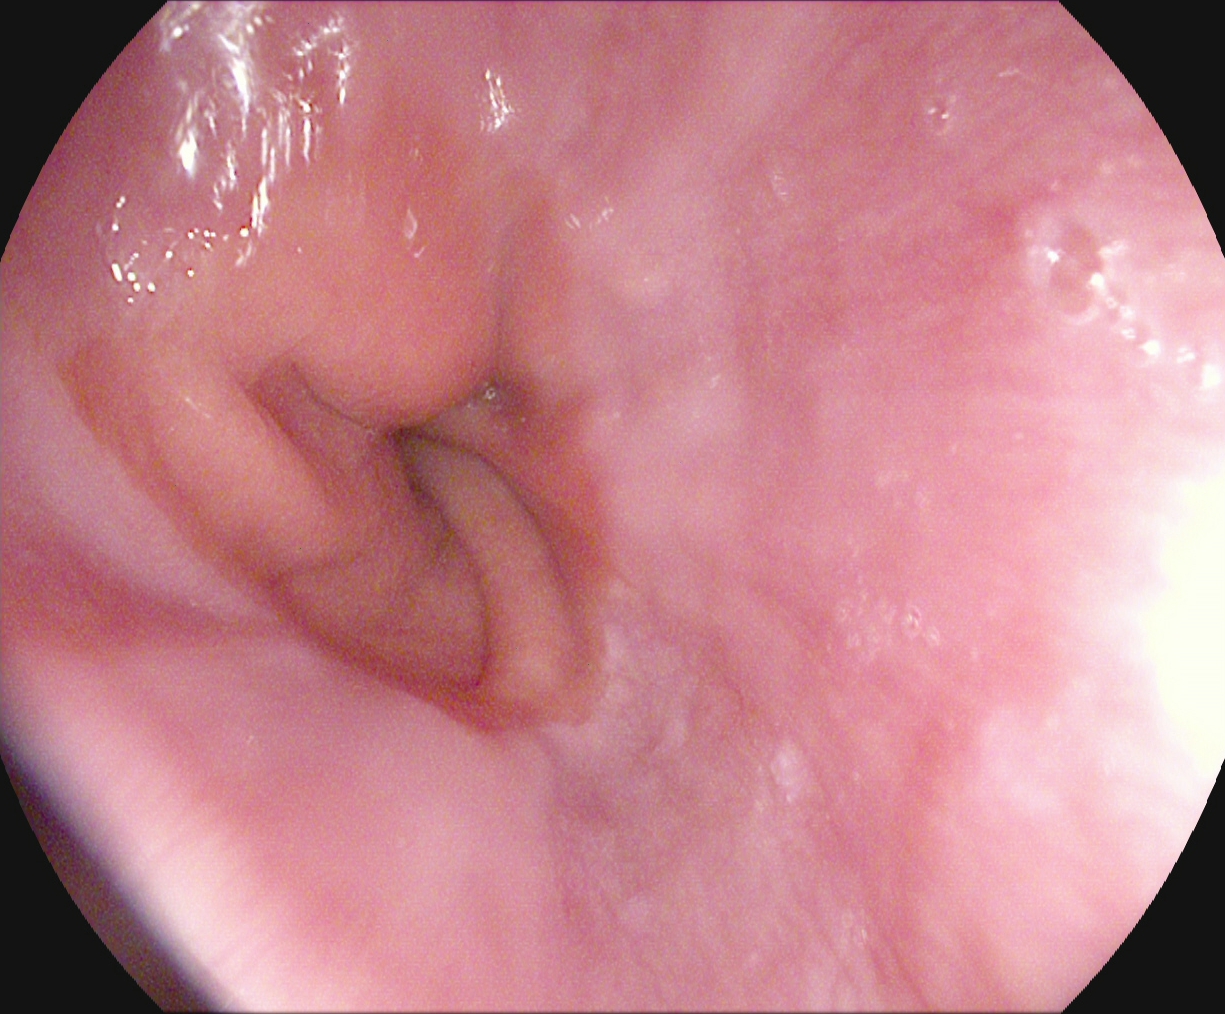Z-line (gastroesophageal junction).